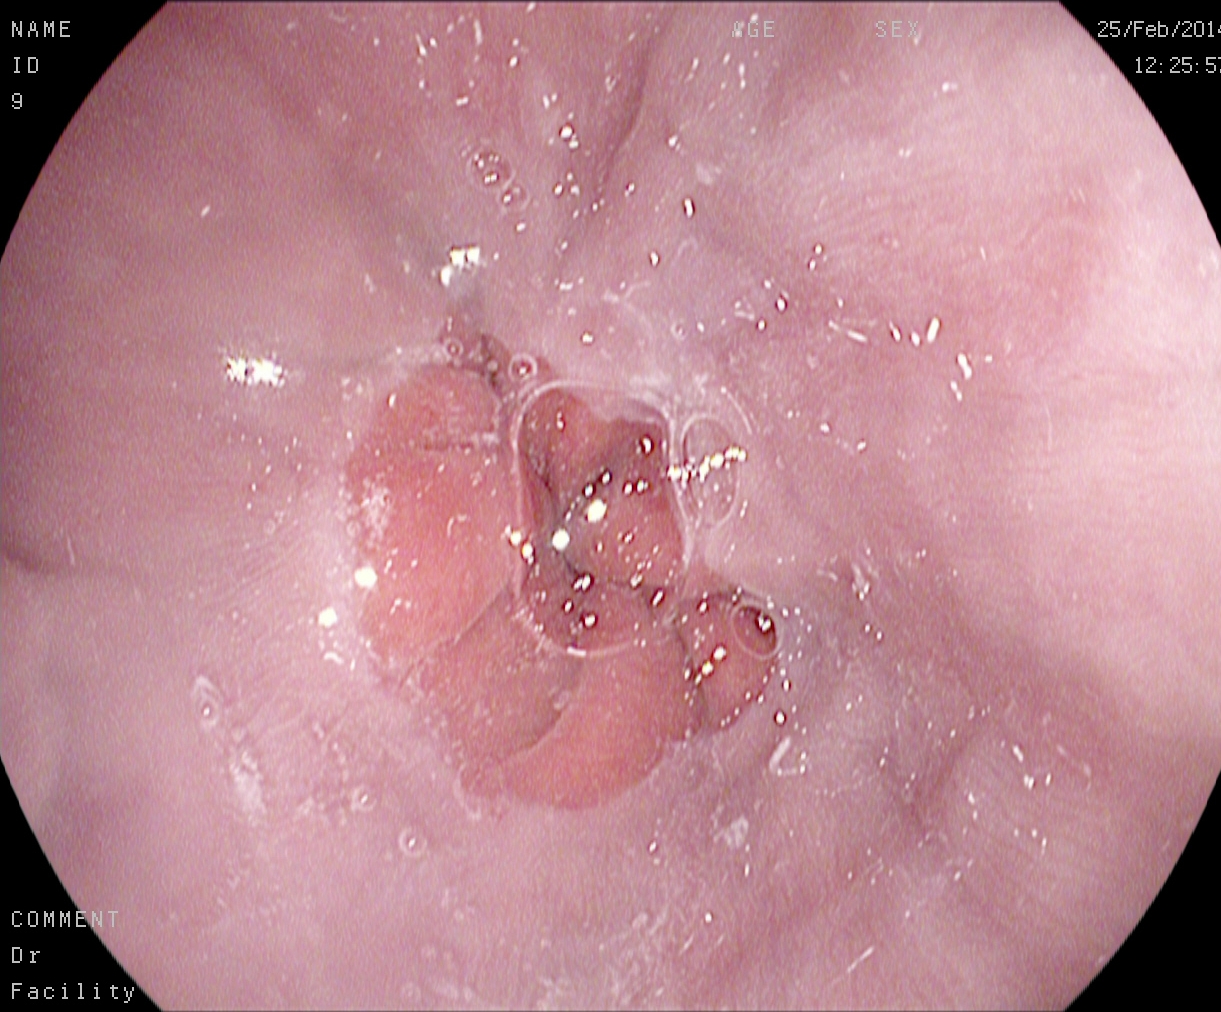EGD. Tract: upper GI tract. Finding: Z-line (gastroesophageal junction).